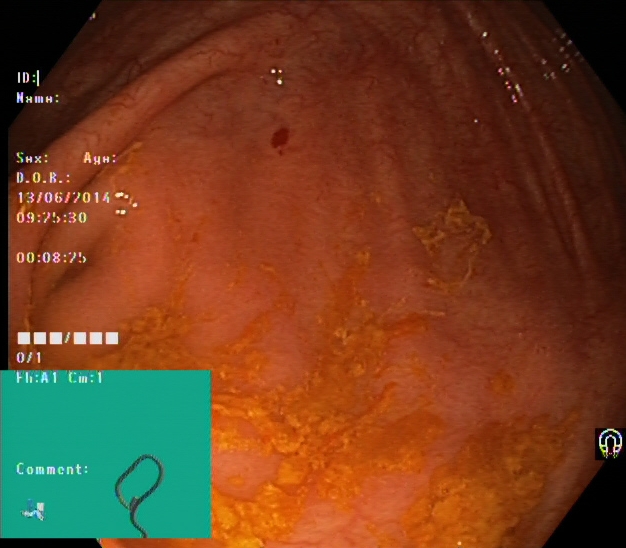This endoscopy frame shows cecum.